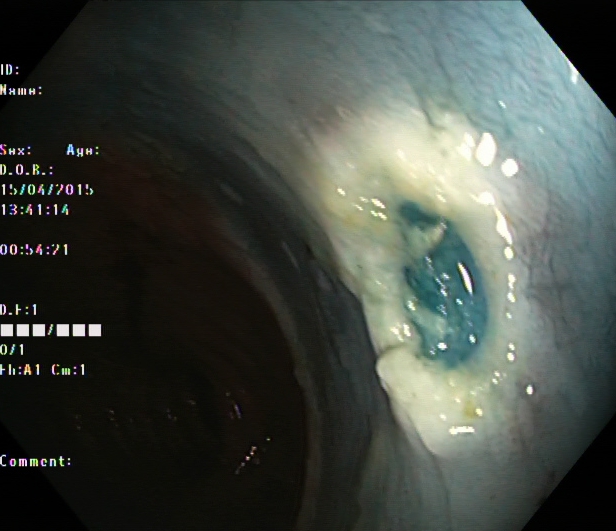PROCEDURE: Colonoscopy.
FINDINGS: Dyed resection margins (post-polypectomy).